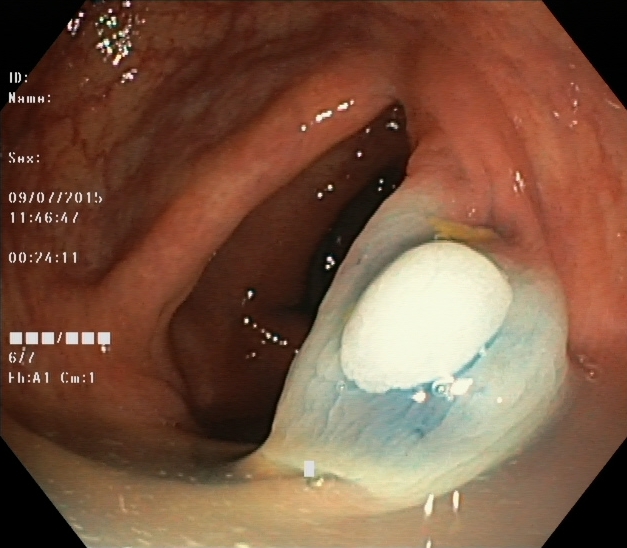Lower gastrointestinal endoscopy. Finding: dyed and lifted polyp (pre-resection).